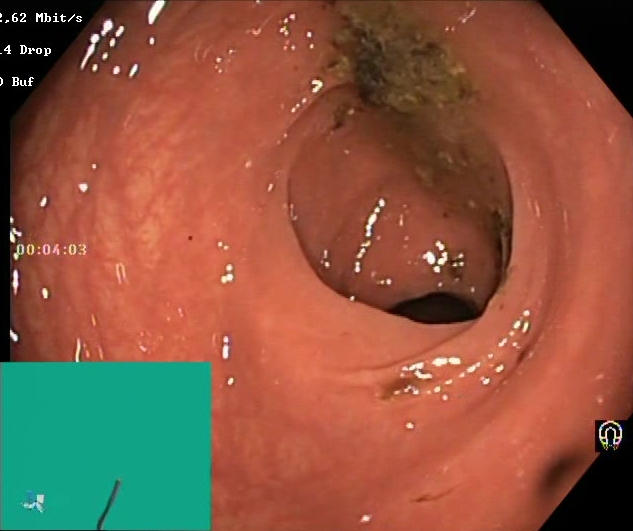BBPS score 0–1 (inadequate preparation).